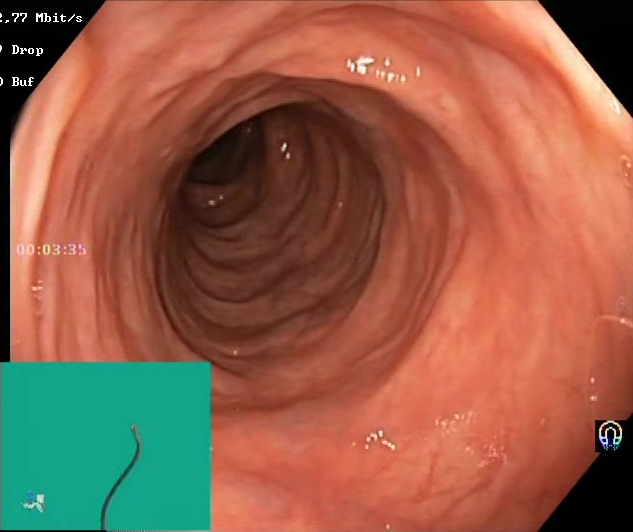Lower gastrointestinal endoscopy — Boston Bowel Preparation Scale score 2–3 (adequate preparation).